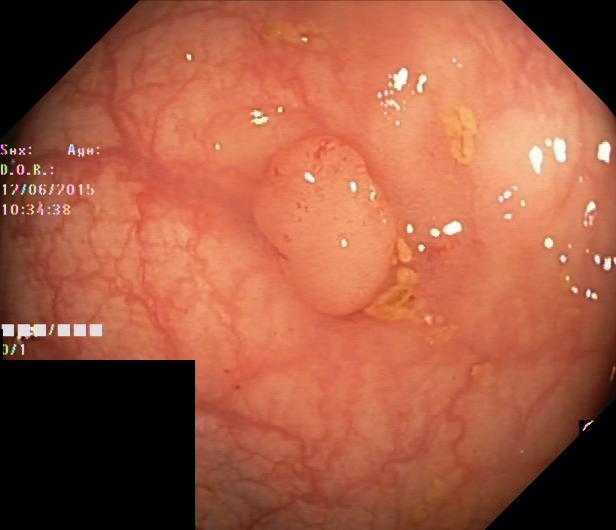Lower-GI endoscopy image of the lower GI tract showing colorectal polyp(s).